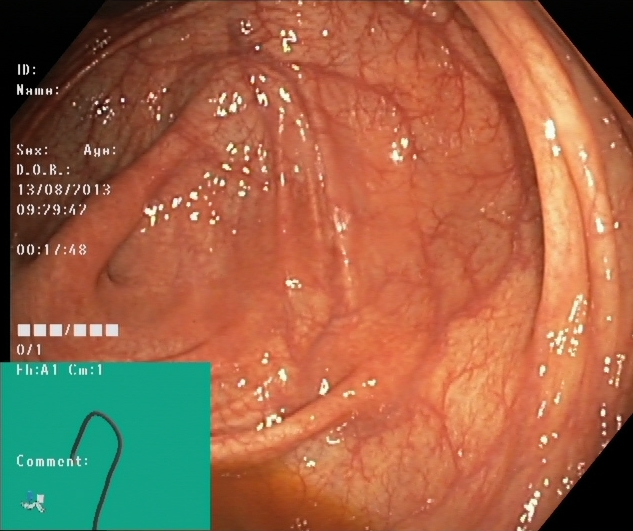{"modality": "lower gastrointestinal endoscopy", "tract": "lower GI tract", "finding": "cecum"}